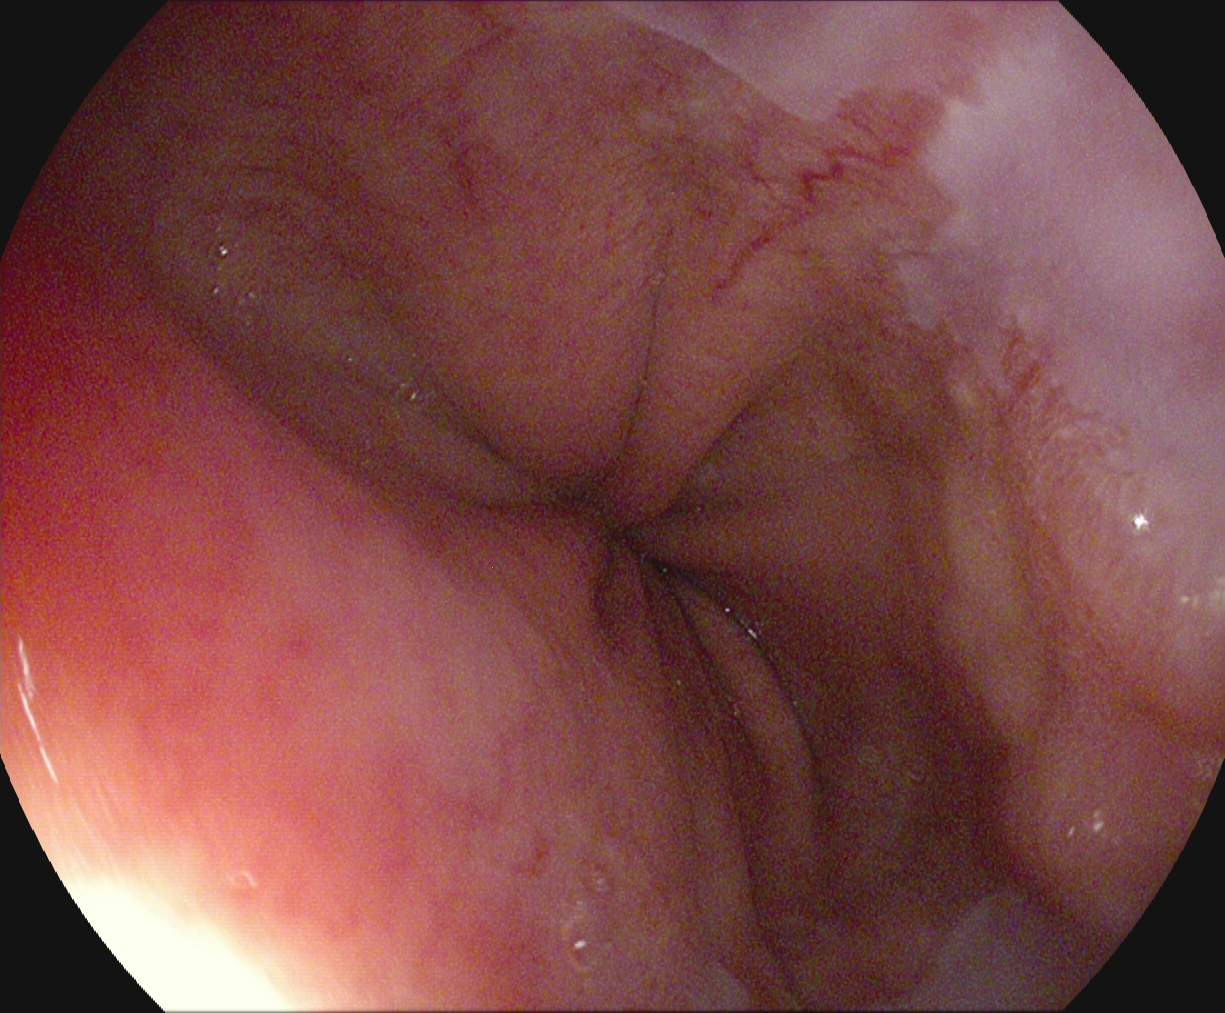PROCEDURE: EGD.
CATEGORY: Anatomical landmark.
FINDINGS: Z-line (gastroesophageal junction).